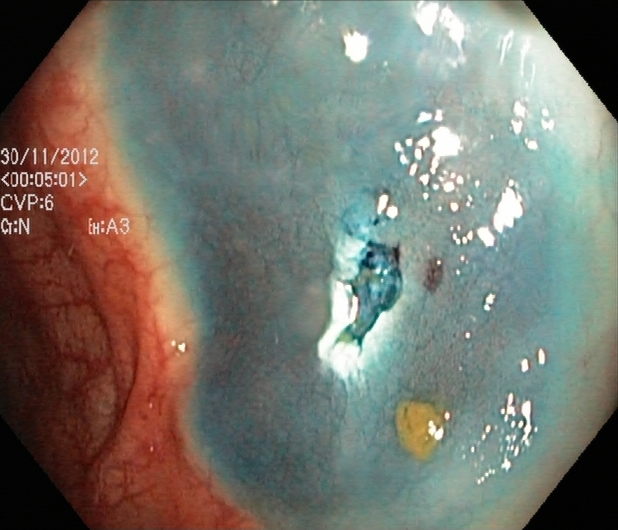{"modality": "colonoscopy", "tract": "lower GI tract", "finding": "dyed resection margins (post-polypectomy)"}